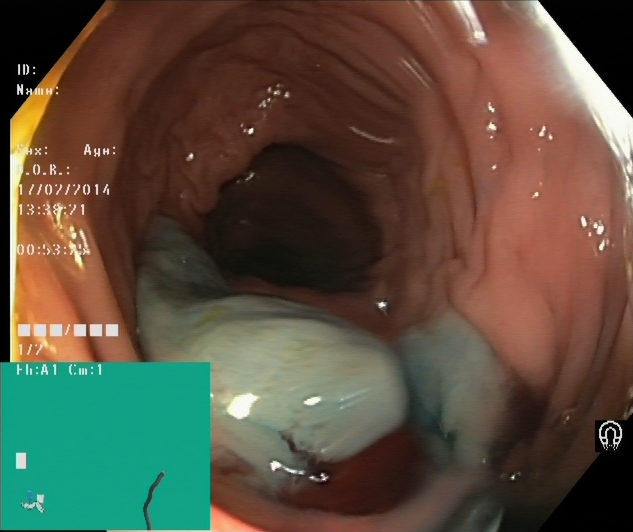Lower gastrointestinal endoscopy — dyed and lifted polyp (pre-resection).